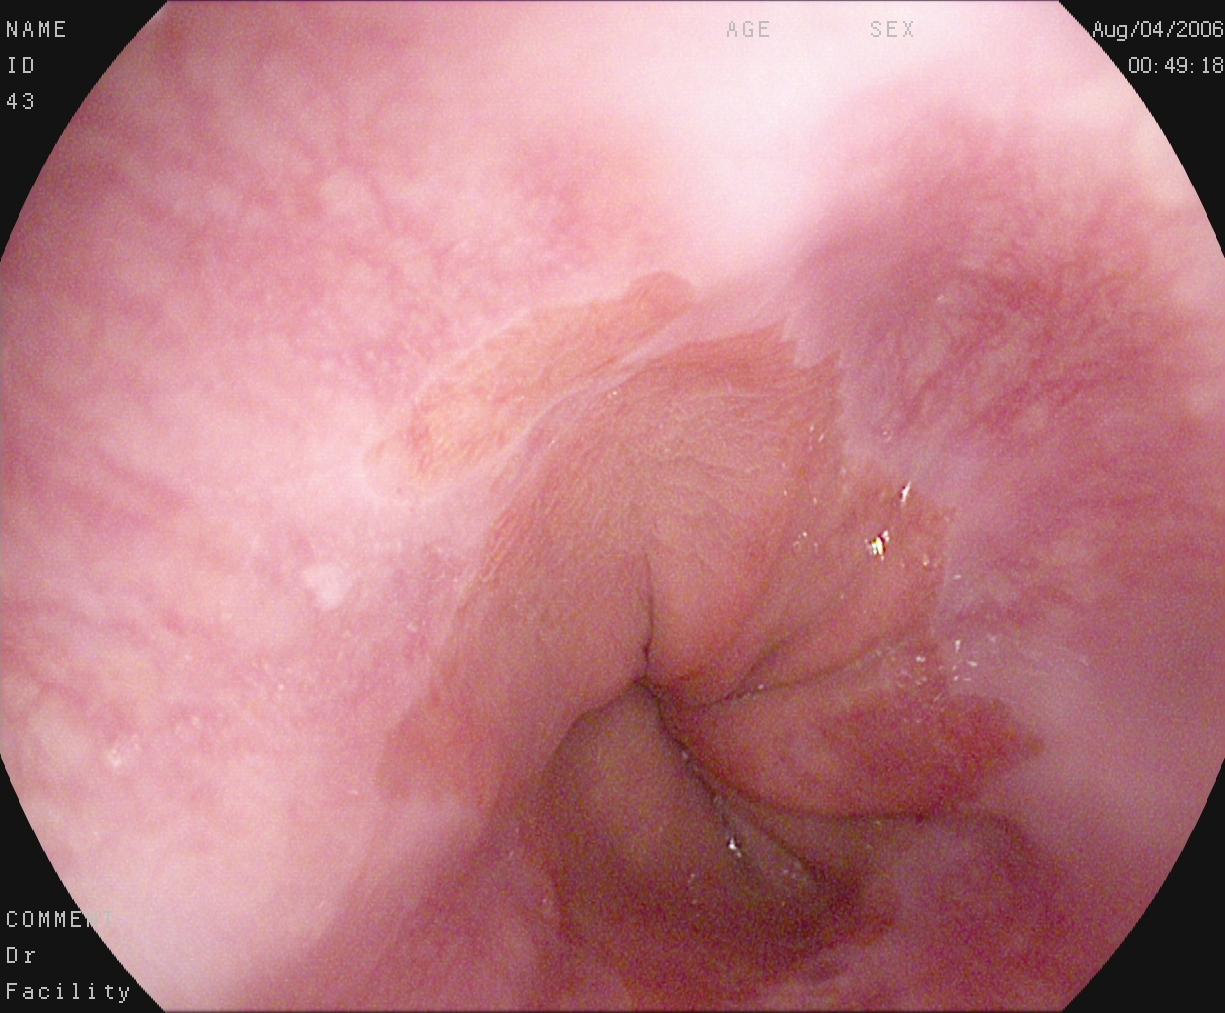Gastroscopy. Tract: upper GI tract. Finding: Z-line (gastroesophageal junction).